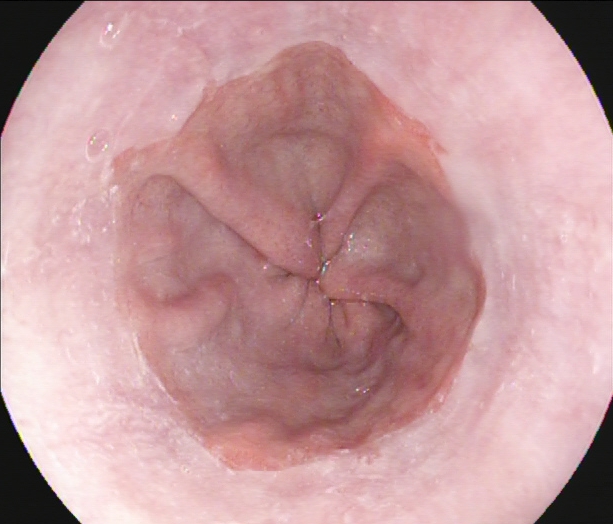This endoscopic image shows Z-line (gastroesophageal junction).